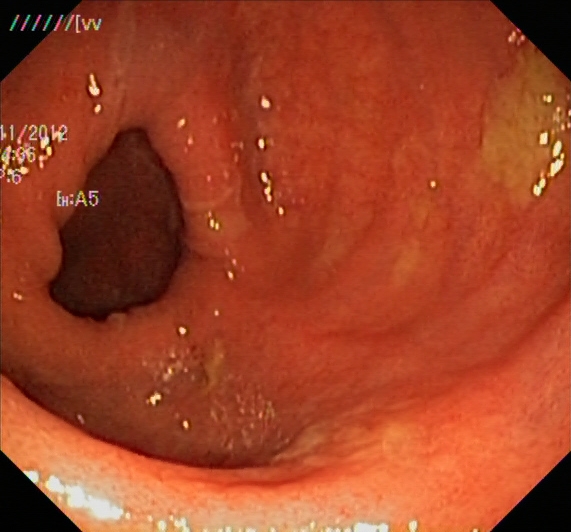modality: colonoscopy; tract: lower GI tract; finding: ulcerative colitis, Mayo endoscopic subscore 1